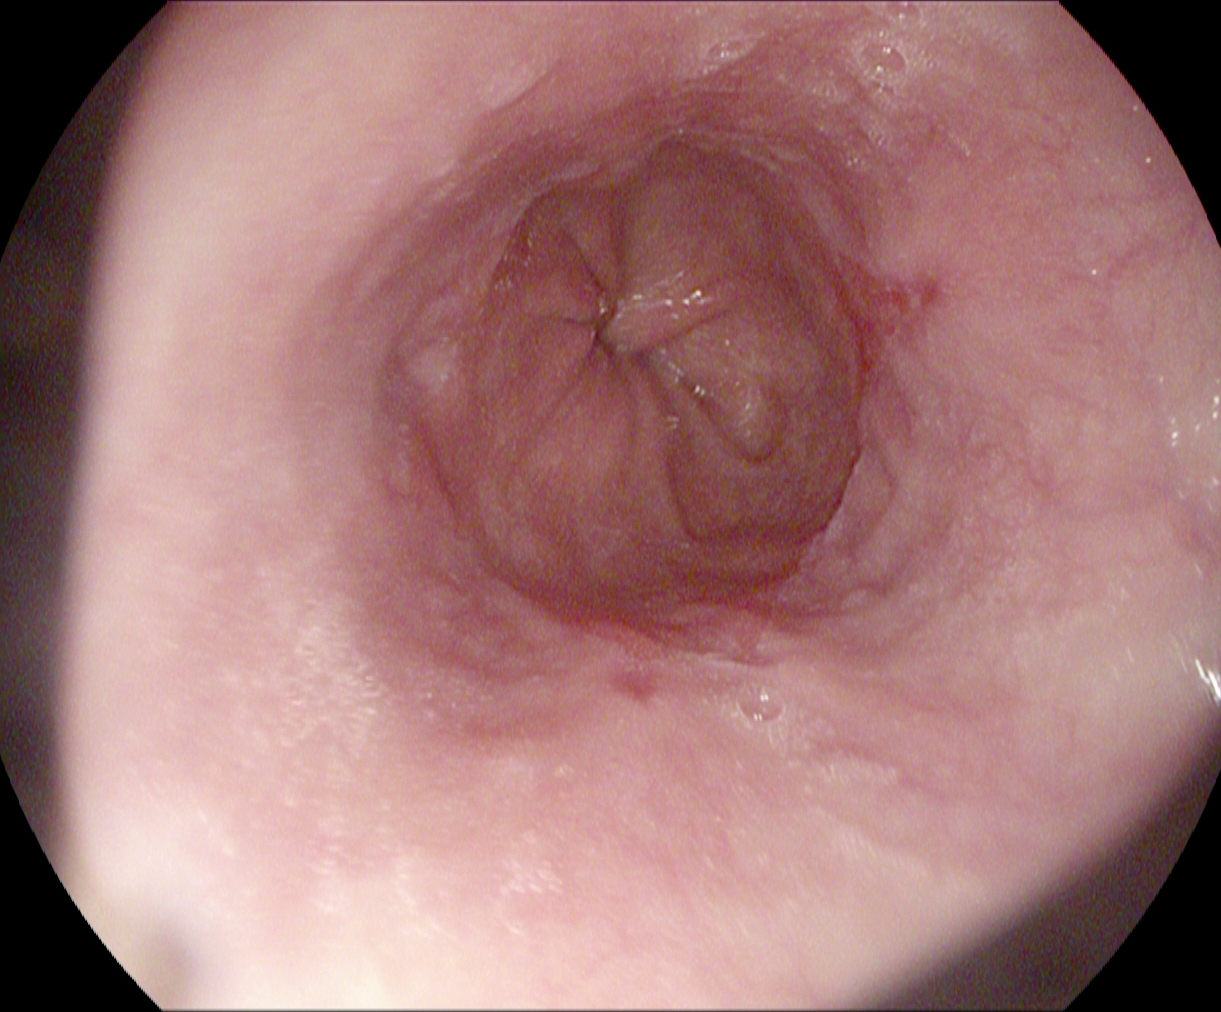reflux esophagitis, Los Angeles grade A.